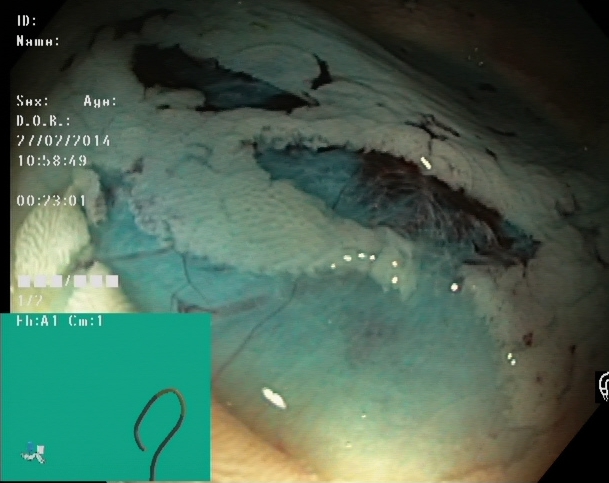This endoscopic image of the lower GI tract shows dyed resection margins (post-polypectomy).